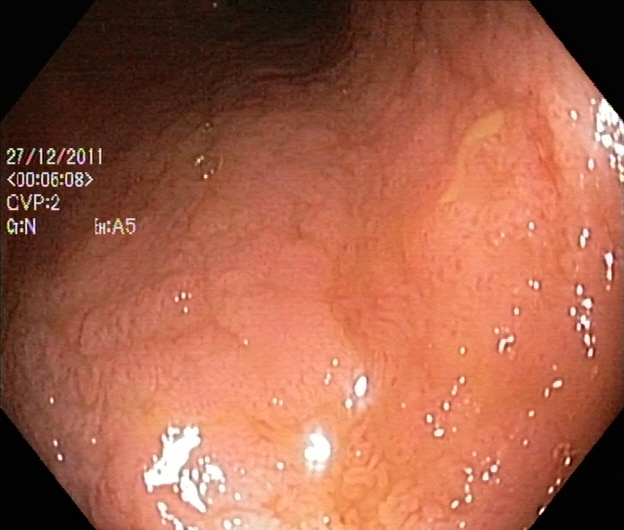Lower gastrointestinal endoscopy — ulcerative colitis, Mayo endoscopic subscore 2.